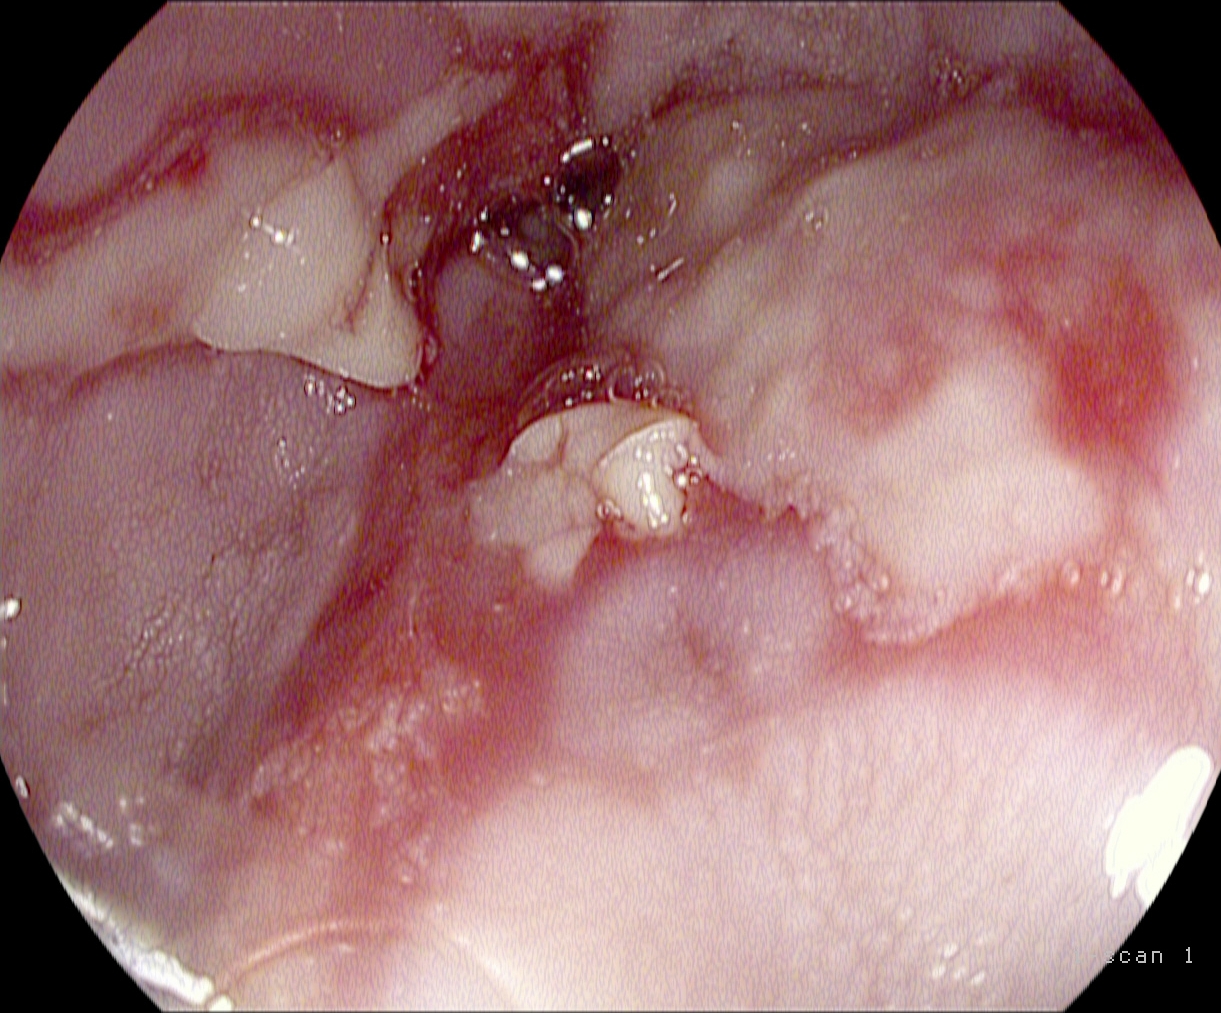Upper-GI endoscopy. Tract: upper GI tract. Finding: reflux esophagitis, Los Angeles grade B–D.